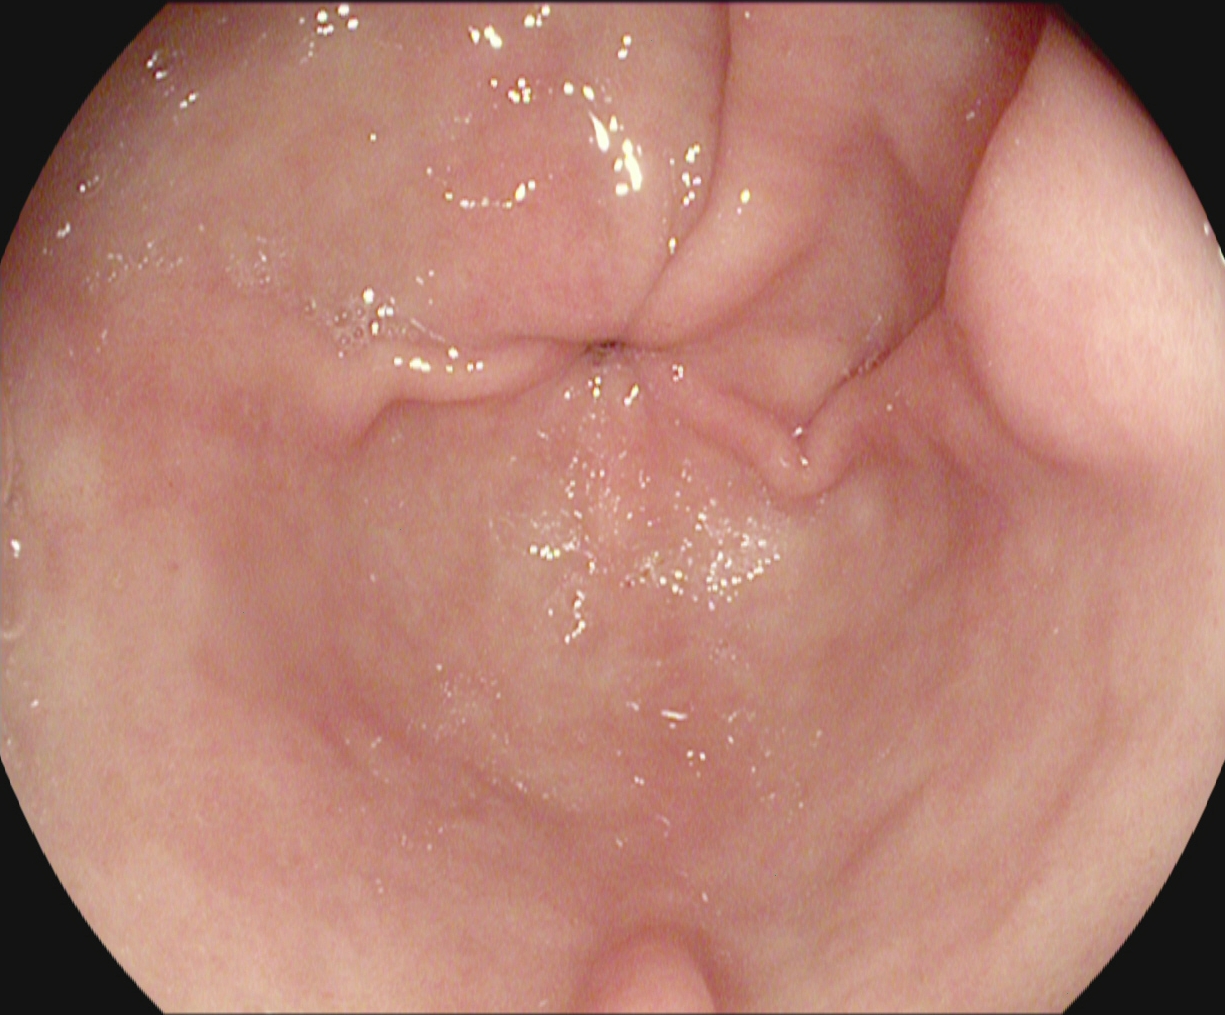PROCEDURE: Esophagogastroduodenoscopy.
FINDINGS: Pylorus.